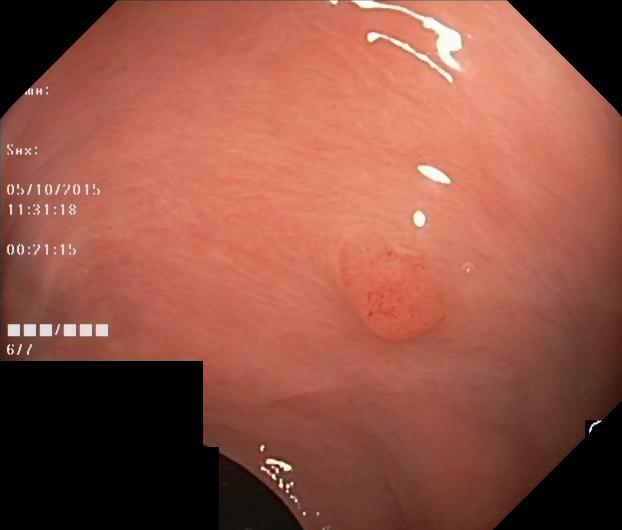{"modality": "lower gastrointestinal endoscopy", "tract": "lower GI tract", "finding": "colorectal polyp(s)"}